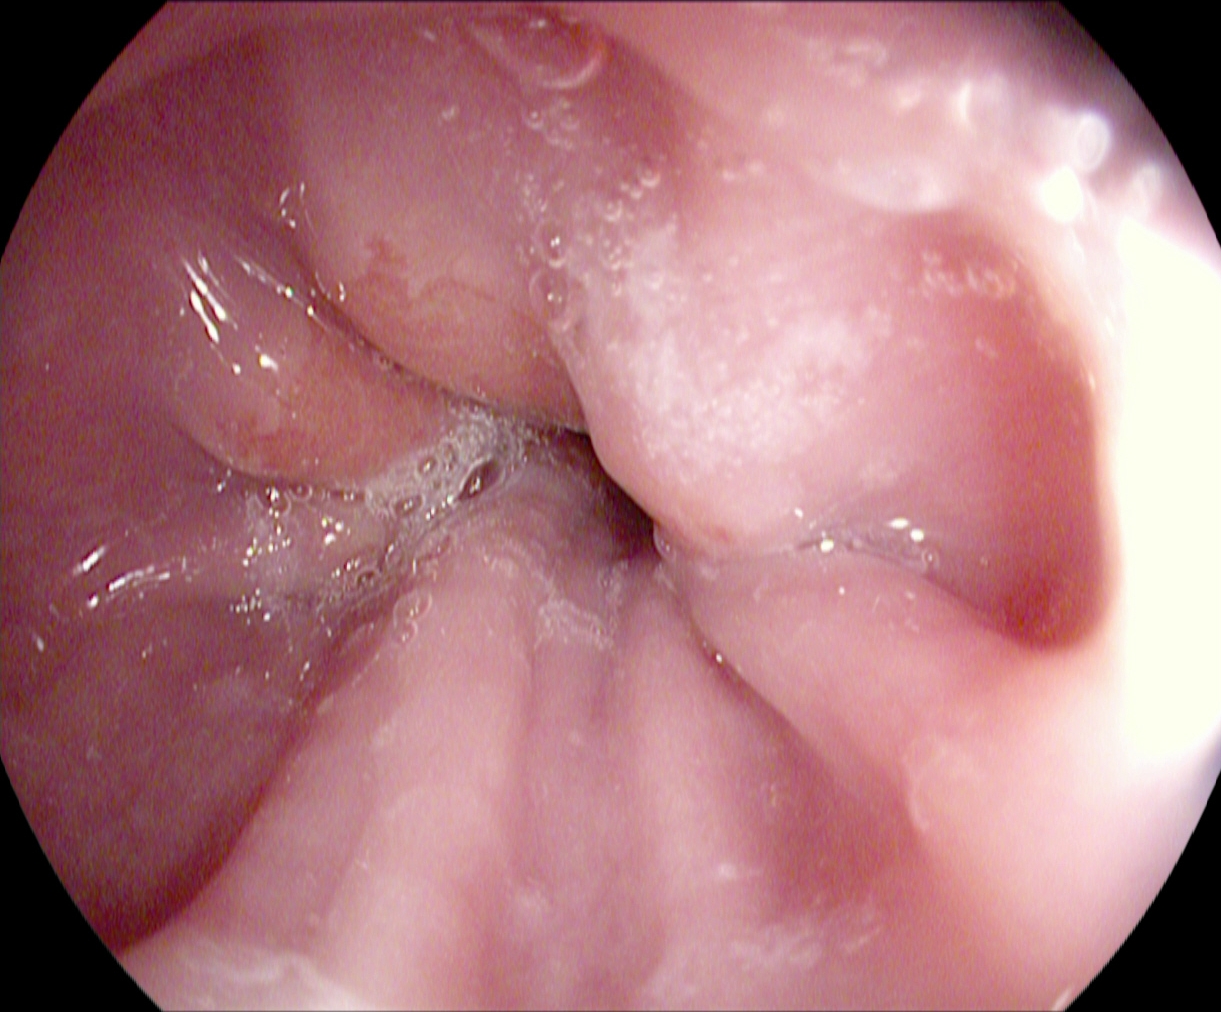{"modality": "gastroscopy", "tract": "upper GI tract", "finding": "Z-line (gastroesophageal junction)"}